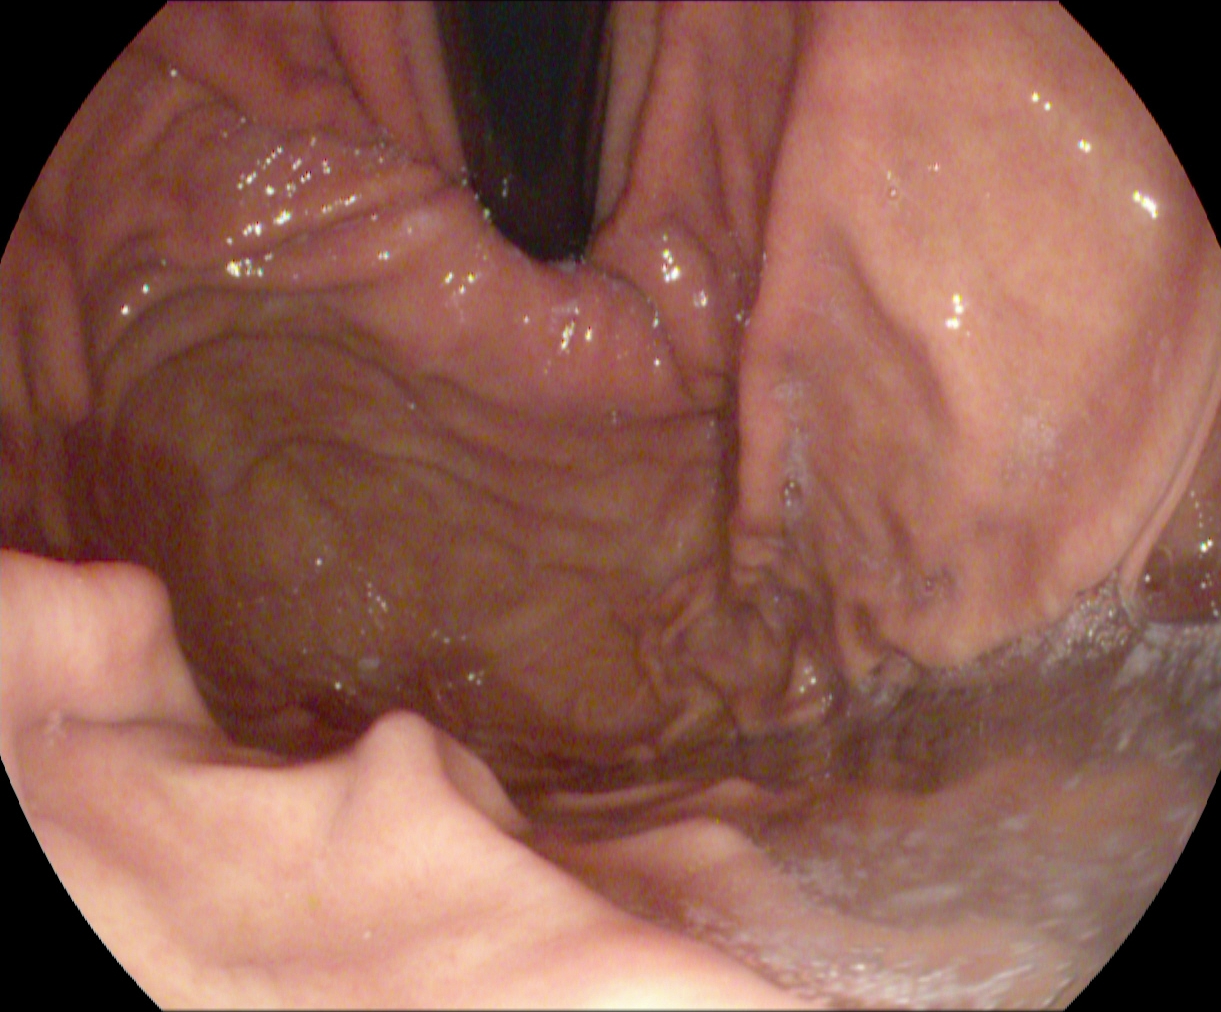Esophagogastroduodenoscopy. Finding: stomach in retroflexion.